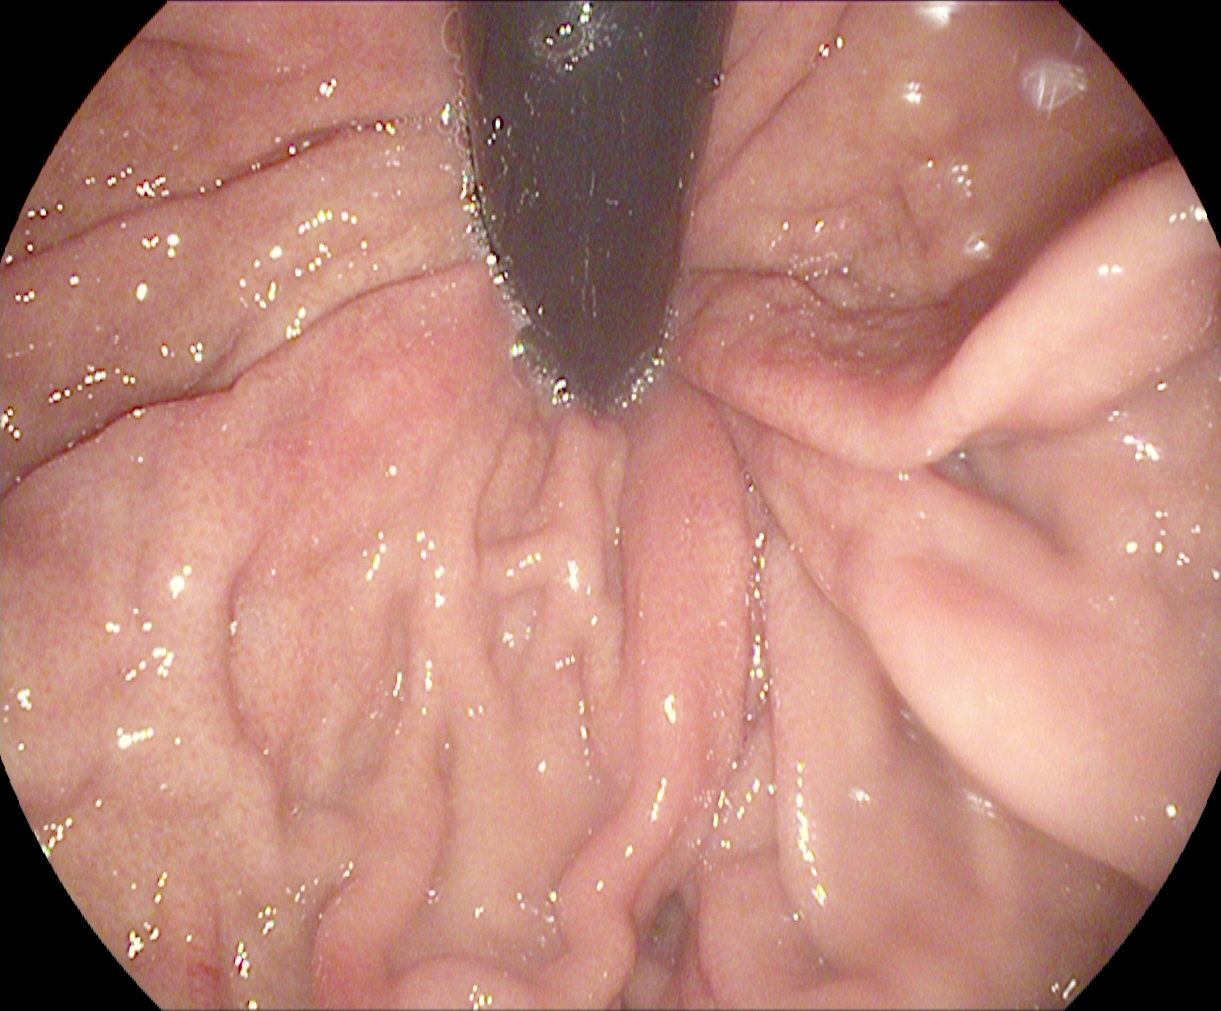PROCEDURE: EGD.
FINDINGS: Stomach in retroflexion.